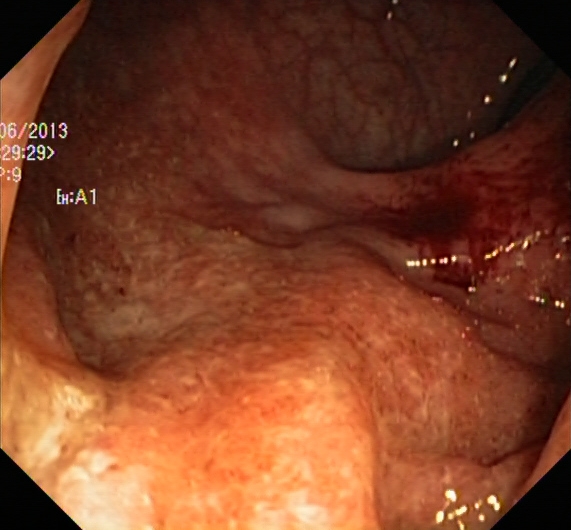{"modality": "lower gastrointestinal endoscopy", "tract": "lower GI tract", "finding": "UC, Mayo endoscopic subscore 1"}